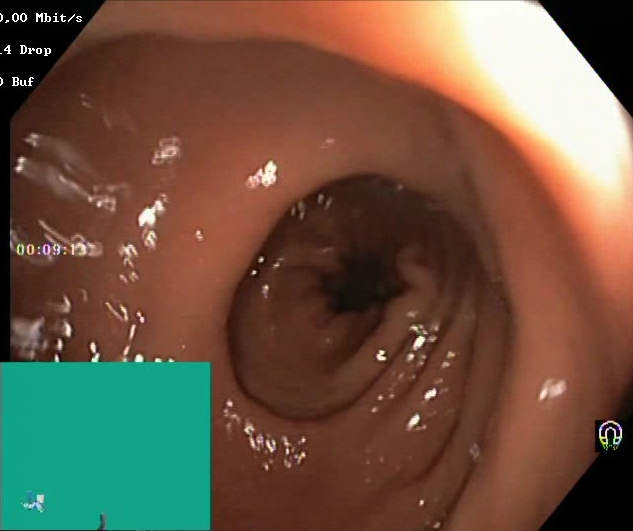modality: colonoscopy
finding: Boston Bowel Preparation Scale score 2–3 (adequate preparation)